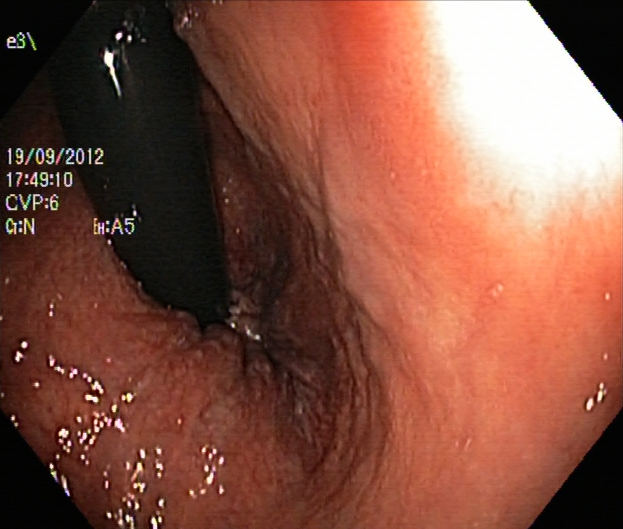Colonoscopy image showing rectum in retroflexion.